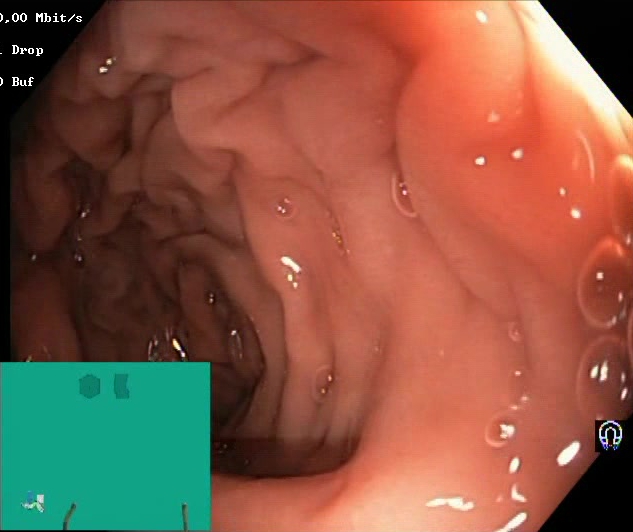This endoscopic image of the lower GI tract shows Boston Bowel Preparation Scale score 2–3 (adequate preparation).